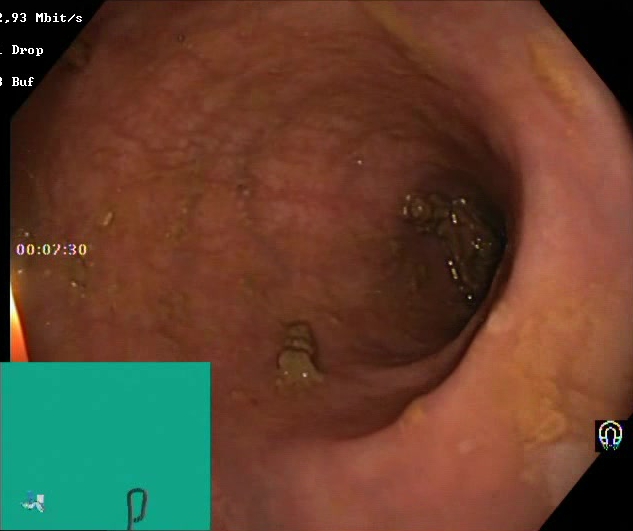PROCEDURE: Colonoscopy.
FINDINGS: Boston Bowel Preparation Scale score 2–3 (adequate preparation).